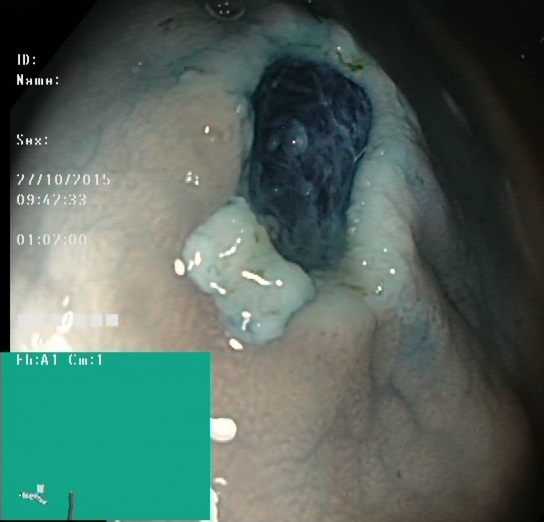PROCEDURE: Lower-GI endoscopy.
CATEGORY: Therapeutic intervention.
FINDINGS: Dyed resection margins (post-polypectomy).